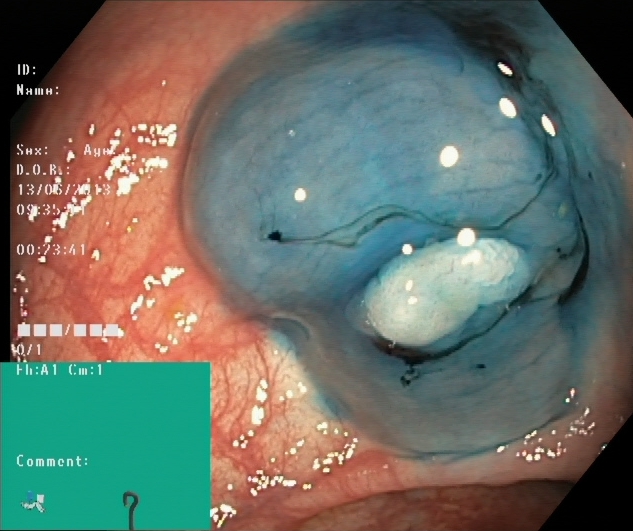Dyed and lifted polyp (pre-resection).